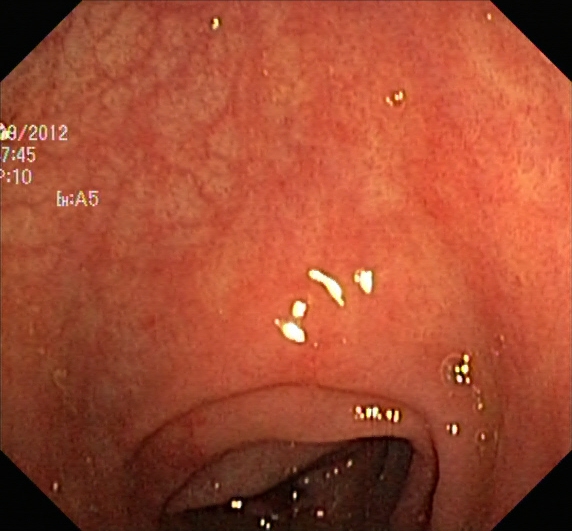Colonoscopy. Finding: ulcerative colitis, Mayo endoscopic subscore 1.